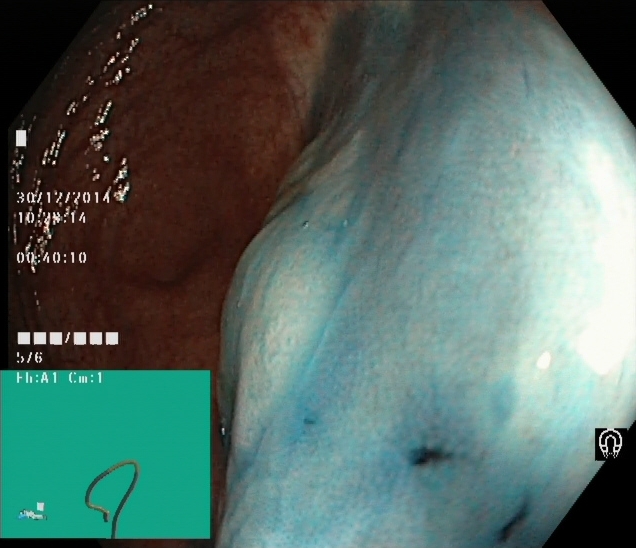modality: colonoscopy
tract: lower GI tract
finding: dyed and lifted polyp (pre-resection)